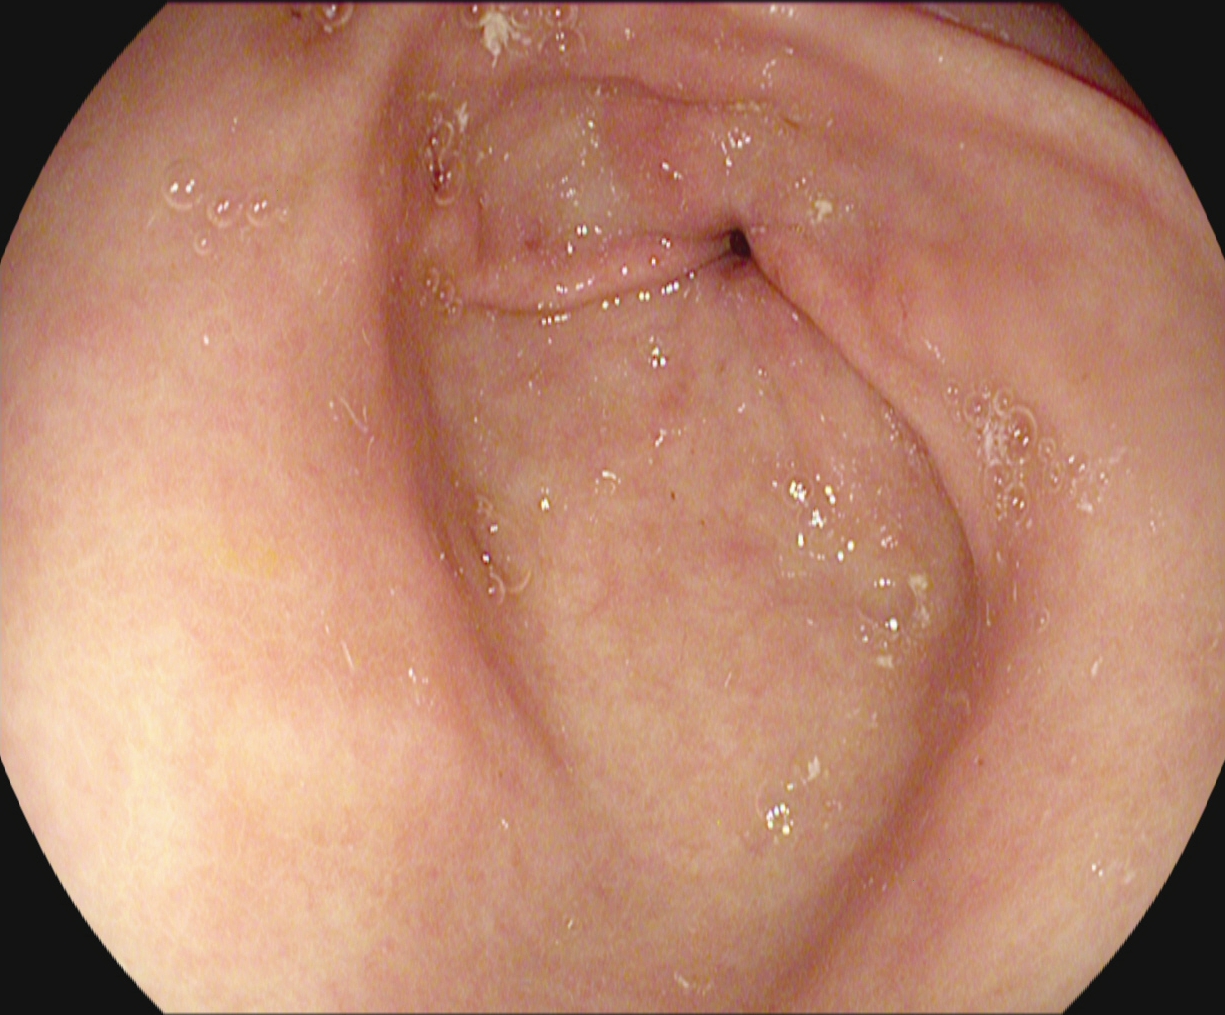{"modality": "upper-GI endoscopy", "tract": "upper GI tract", "finding": "pylorus"}